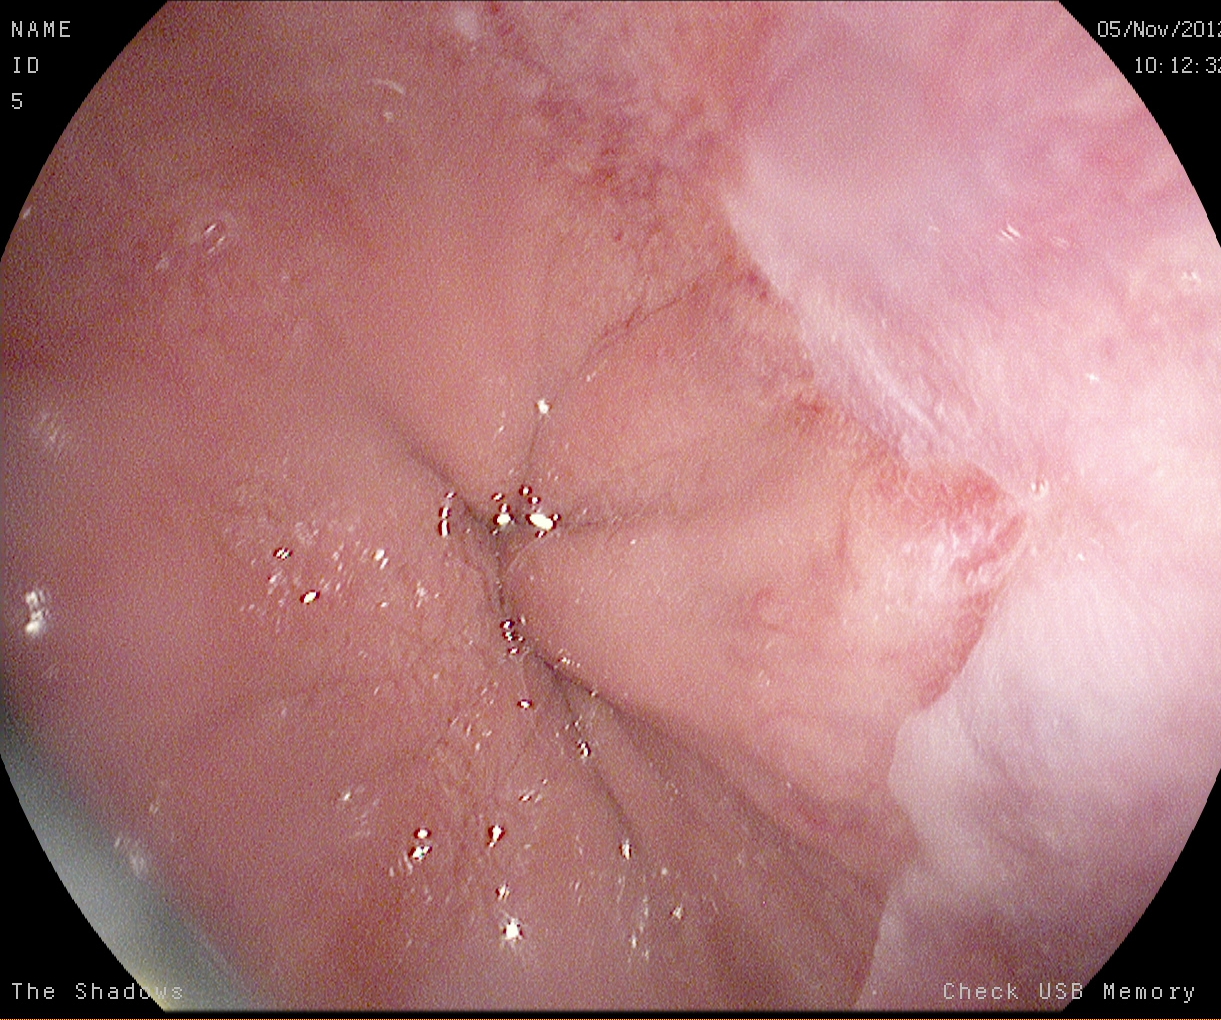Esophagogastroduodenoscopy. Pathological finding. Finding: reflux esophagitis, Los Angeles grade A.